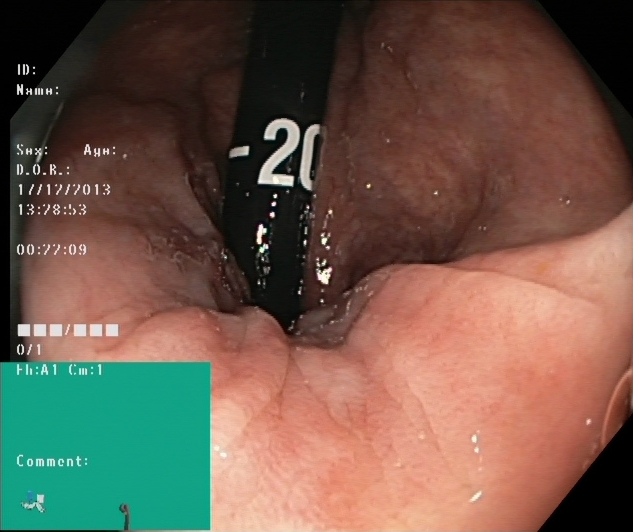Rectum in retroflexion.